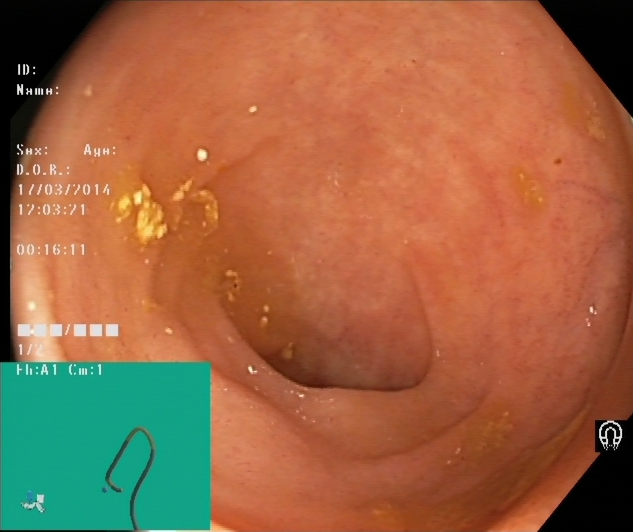modality: colonoscopy
finding: cecum